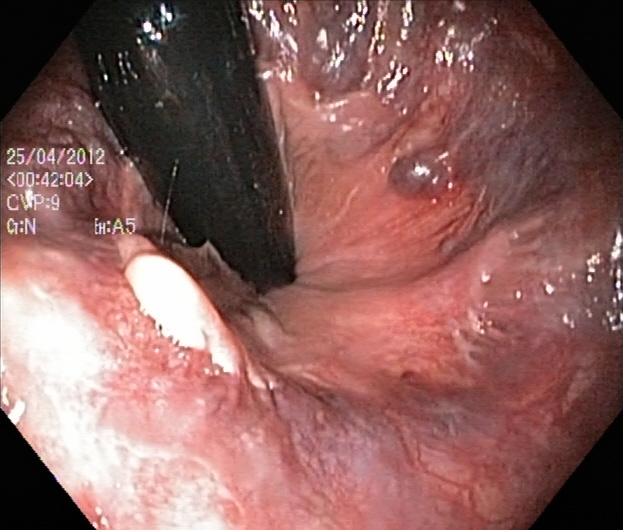{"modality": "lower gastrointestinal endoscopy", "finding": "rectum in retroflexion"}